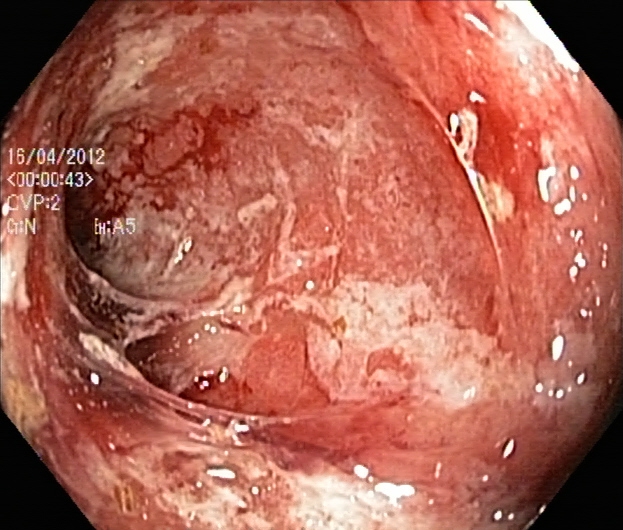{"modality": "lower-GI endoscopy", "tract": "lower GI tract", "category": "pathological finding", "finding": "ulcerative colitis, Mayo endoscopic subscore 3"}